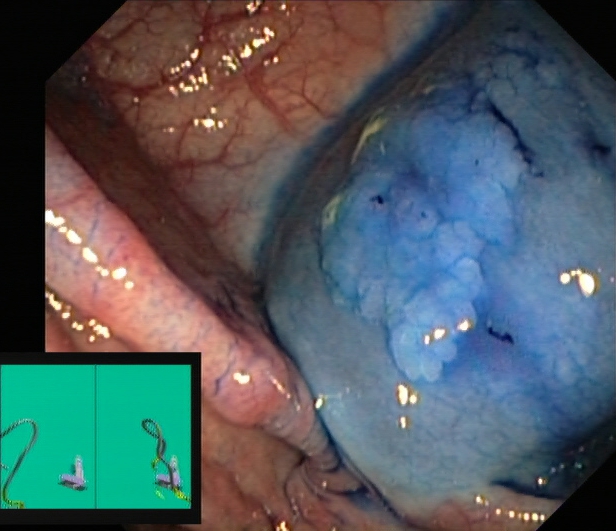{"modality": "colonoscopy", "tract": "lower GI tract", "finding": "dyed and lifted polyp (pre-resection)"}